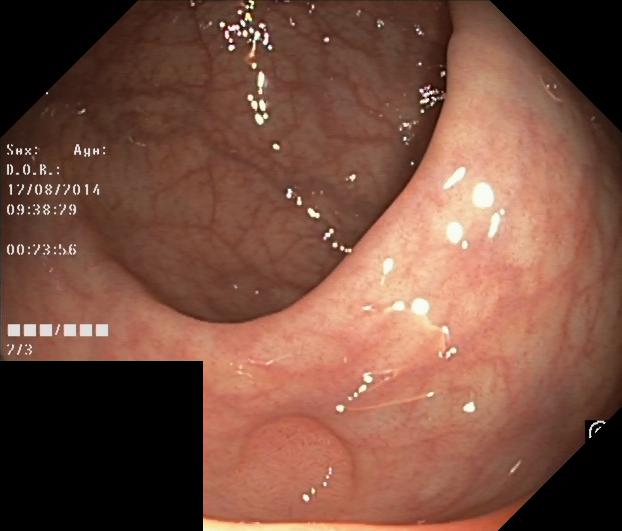This endoscopy frame of the lower GI tract shows colorectal polyp(s).